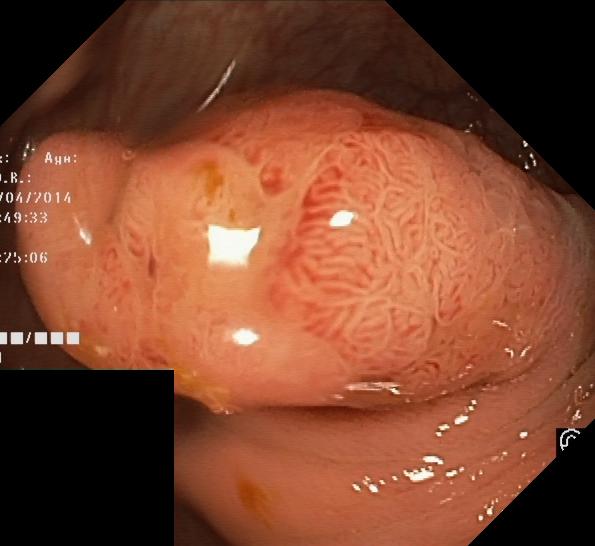Lower gastrointestinal endoscopy. Tract: lower GI tract. Finding: colorectal polyp(s).